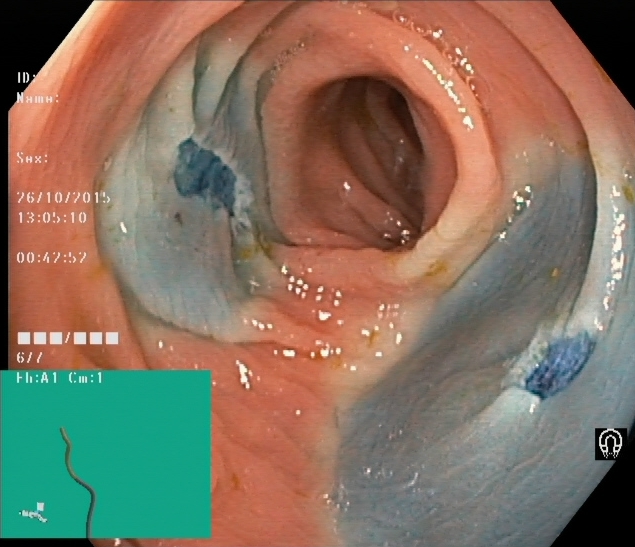PROCEDURE: Colonoscopy.
FINDINGS: Dyed resection margins (post-polypectomy).